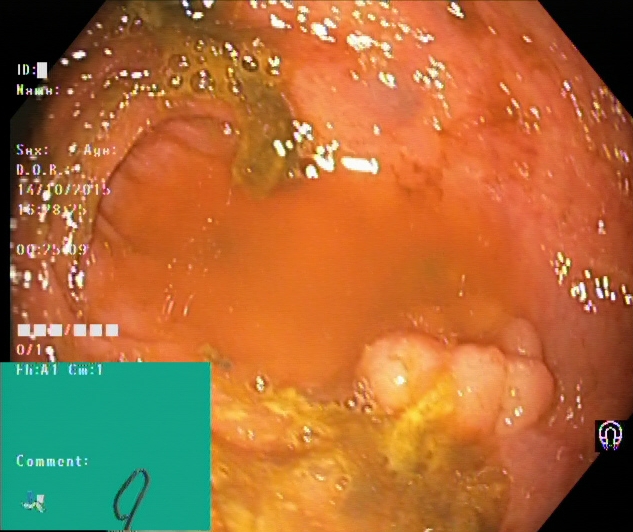Lower gastrointestinal endoscopy — cecum.